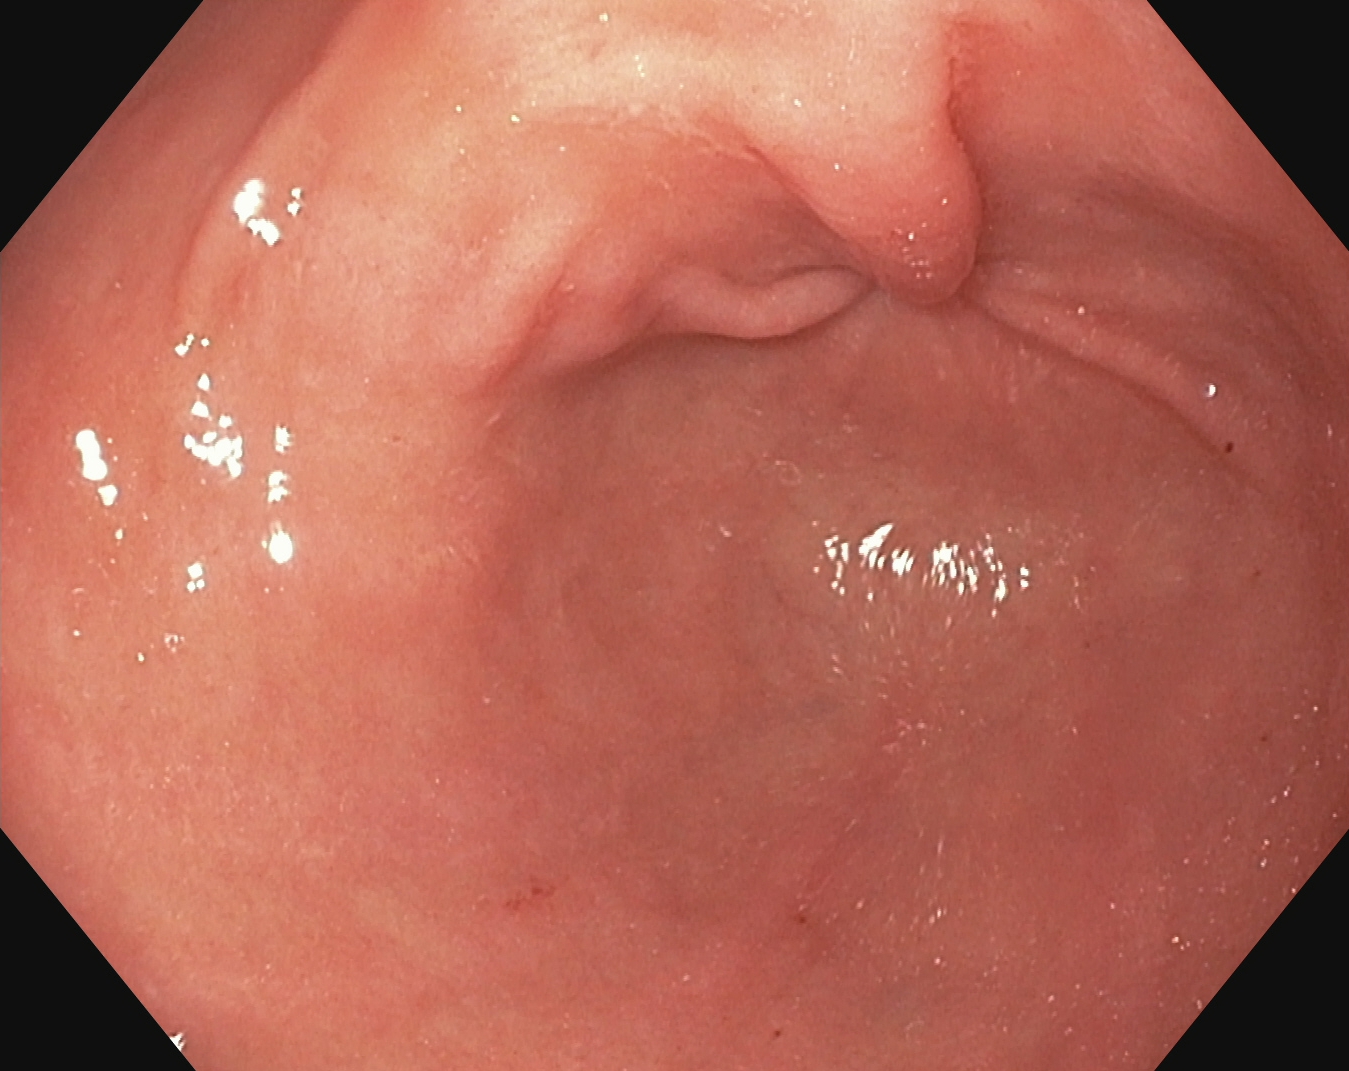{"modality": "gastroscopy", "tract": "upper GI tract", "category": "anatomical landmark", "finding": "pylorus"}